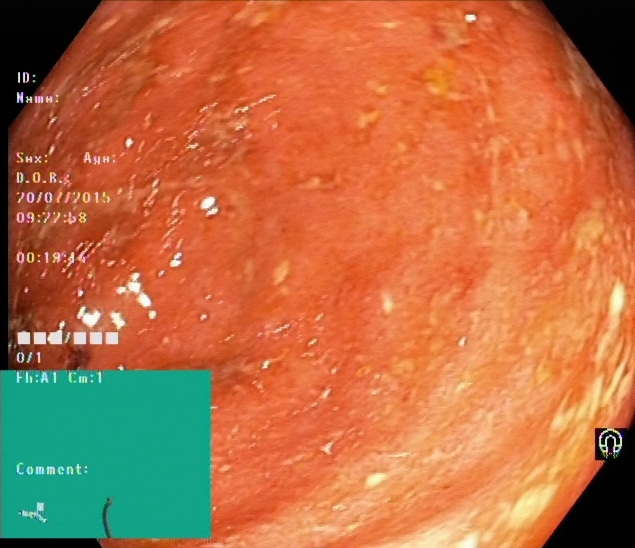Endoscopy image showing ulcerative colitis, Mayo endoscopic subscore 2.